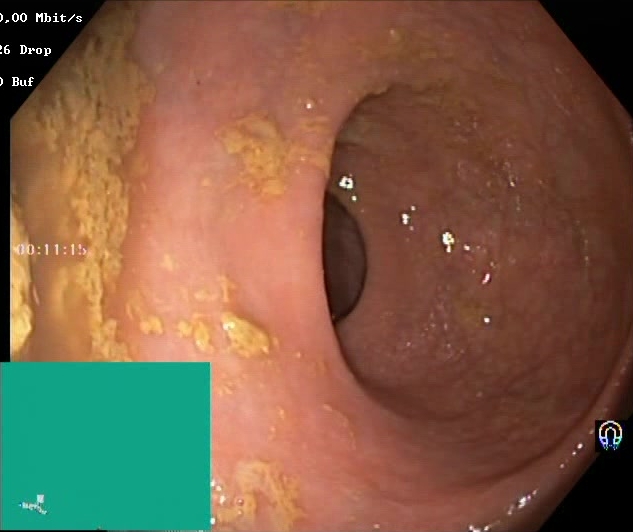Boston Bowel Preparation Scale score 0–1 (inadequate preparation).